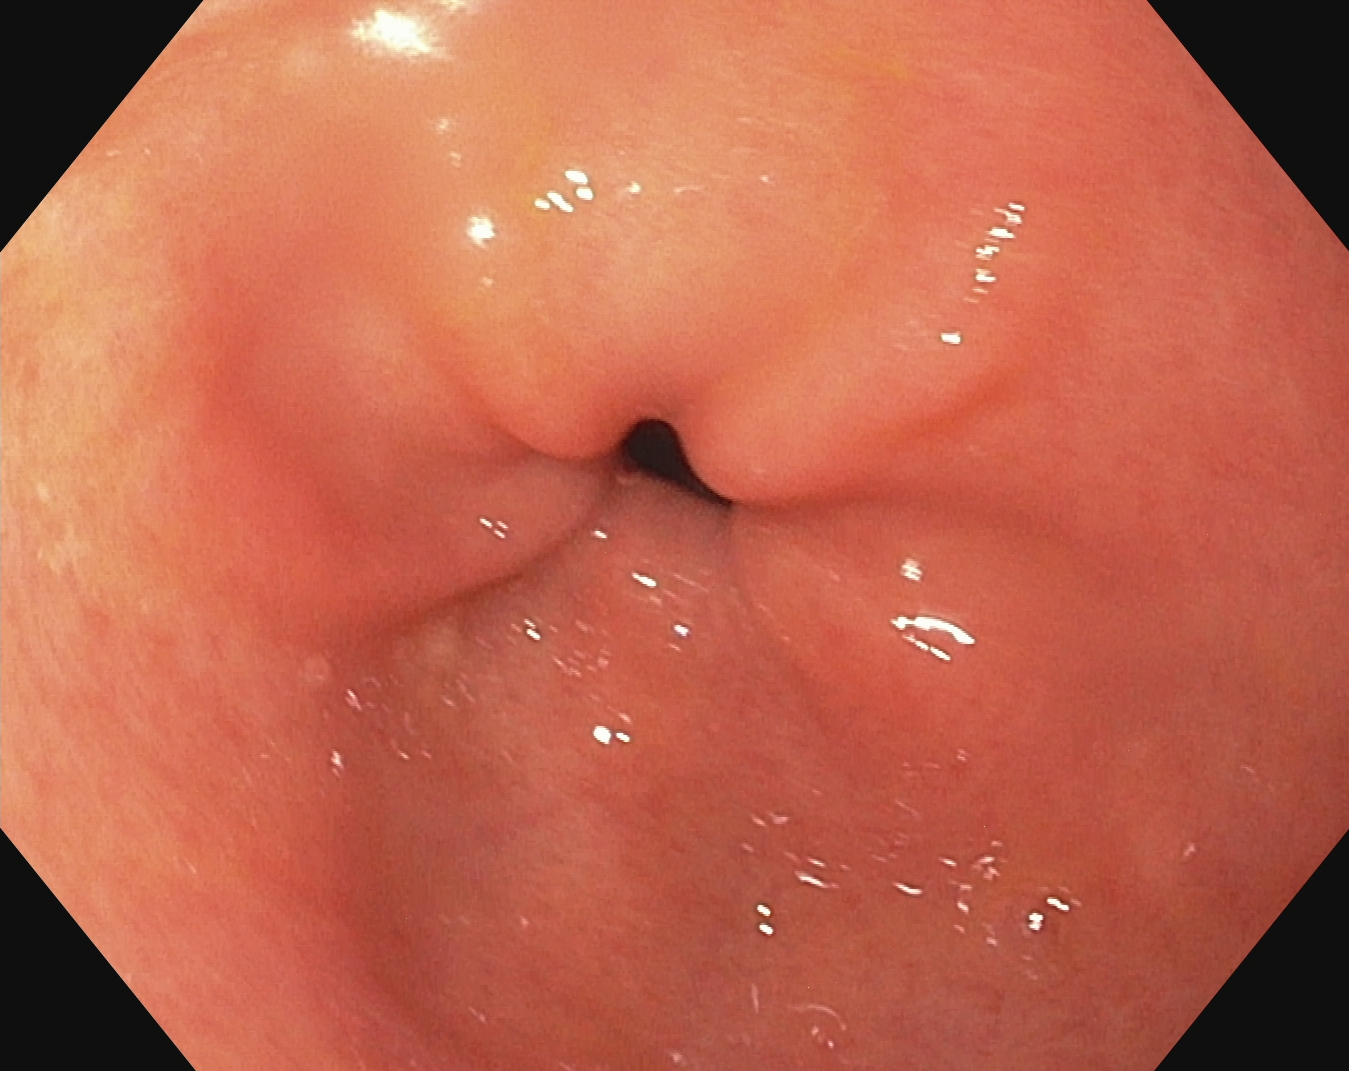PROCEDURE: EGD.
CATEGORY: Anatomical landmark.
FINDINGS: Pylorus.